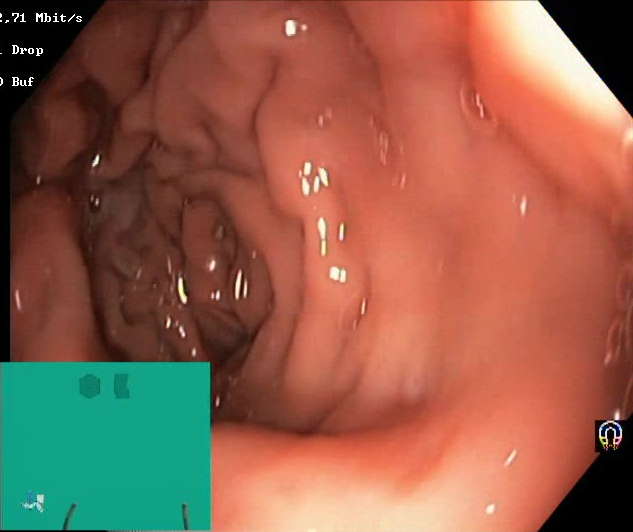Boston Bowel Preparation Scale score 2–3 (adequate preparation).